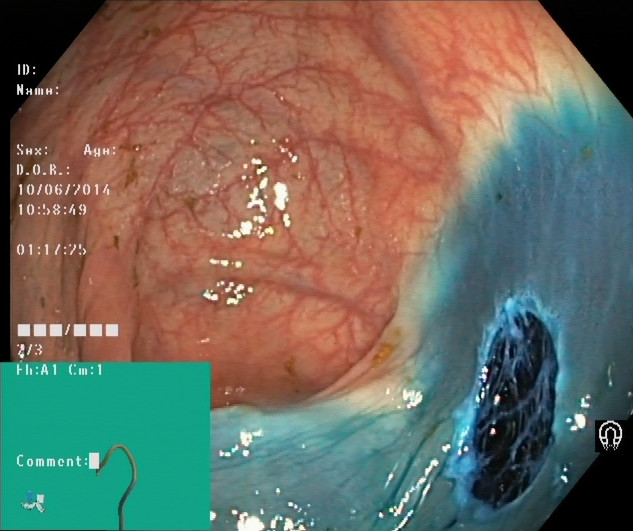Endoscopic frame of the lower GI tract showing dyed resection margins (post-polypectomy).